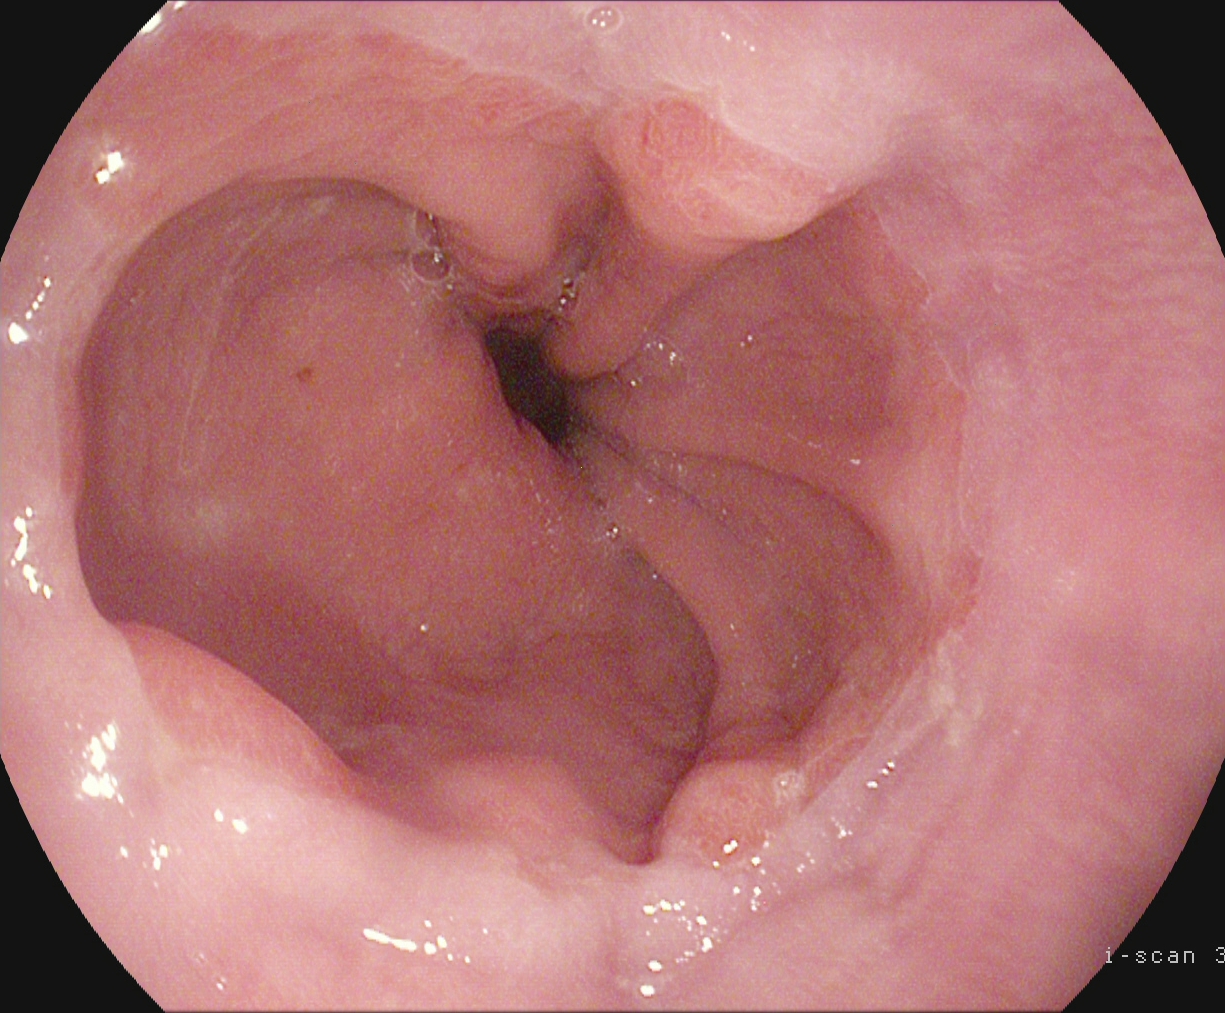{"modality": "upper-GI endoscopy", "tract": "upper GI tract", "finding": "Z-line (gastroesophageal junction)"}